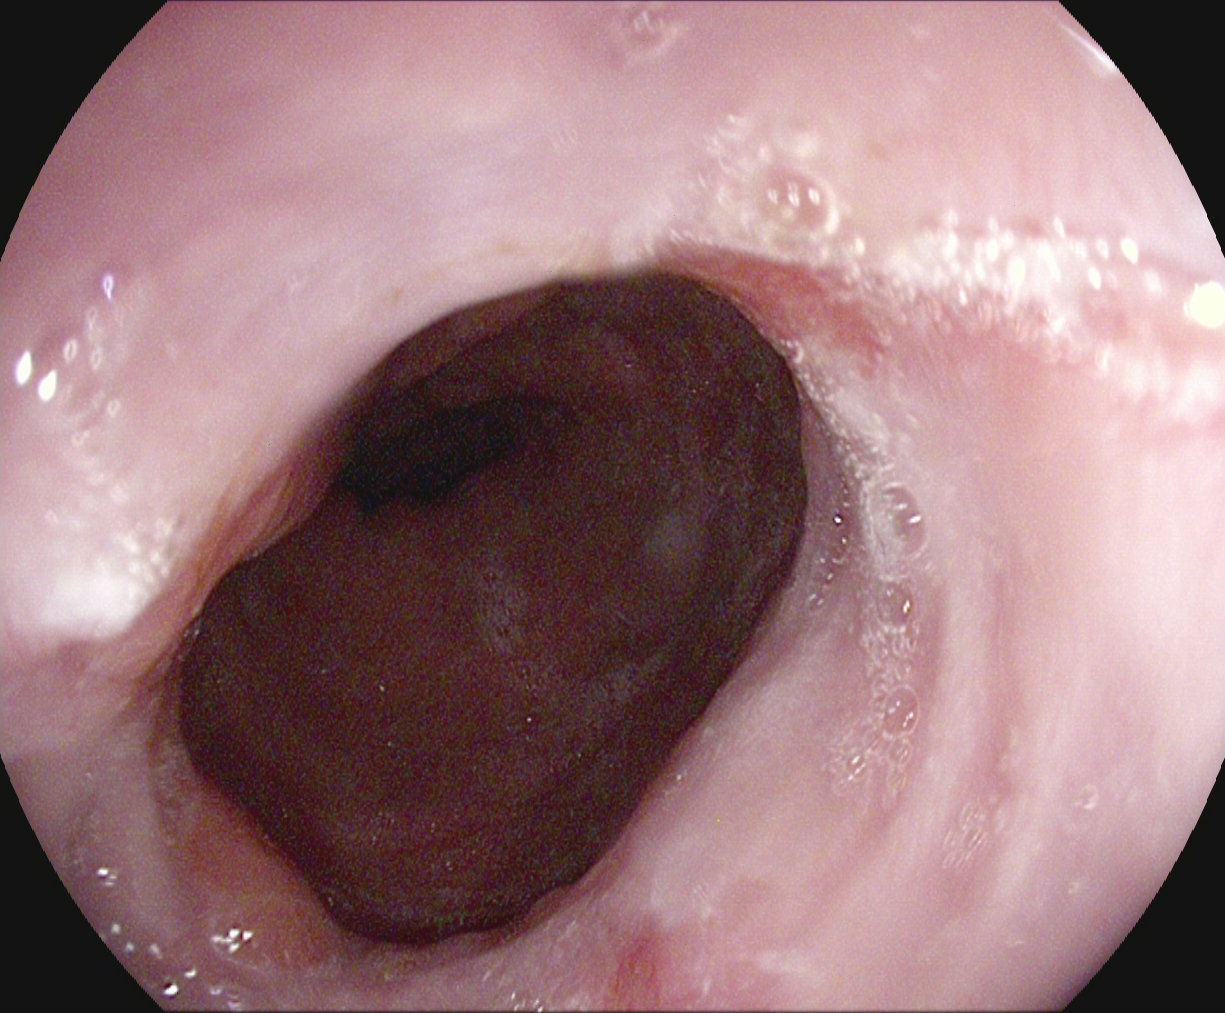Upper-GI endoscopy. Tract: upper GI tract. Finding: reflux esophagitis, Los Angeles grade A.